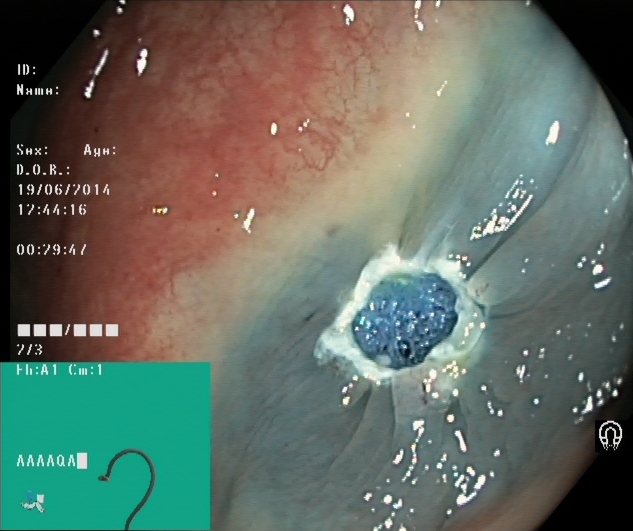Lower gastrointestinal endoscopy. Tract: lower GI tract. Therapeutic intervention. Finding: dyed resection margins (post-polypectomy).